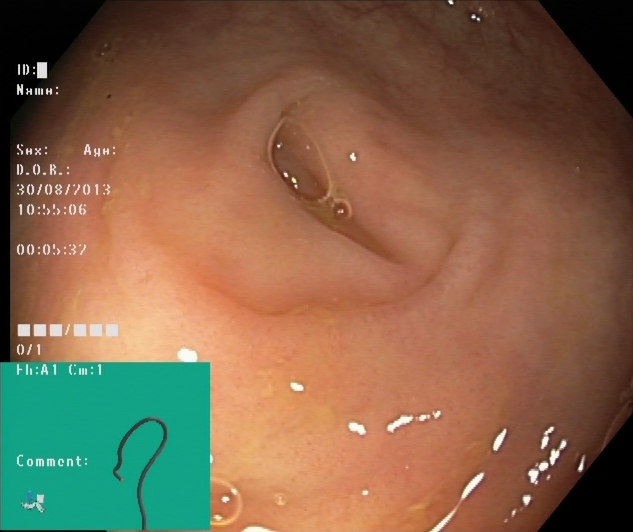modality: colonoscopy
tract: lower GI tract
finding: cecum